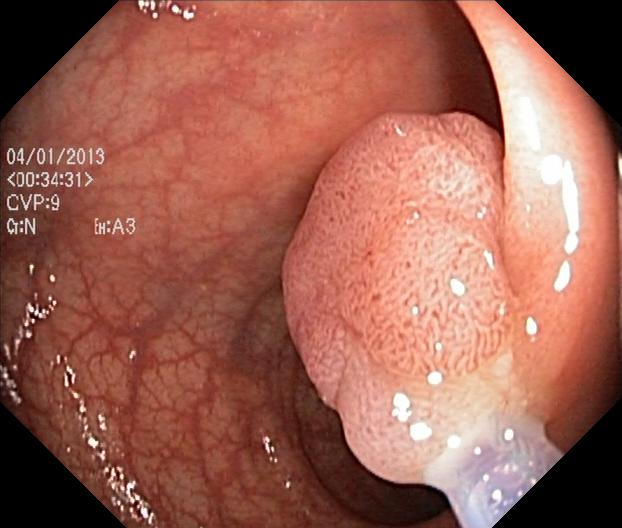PROCEDURE: Colonoscopy.
CATEGORY: Pathological finding.
FINDINGS: Colorectal polyp(s).